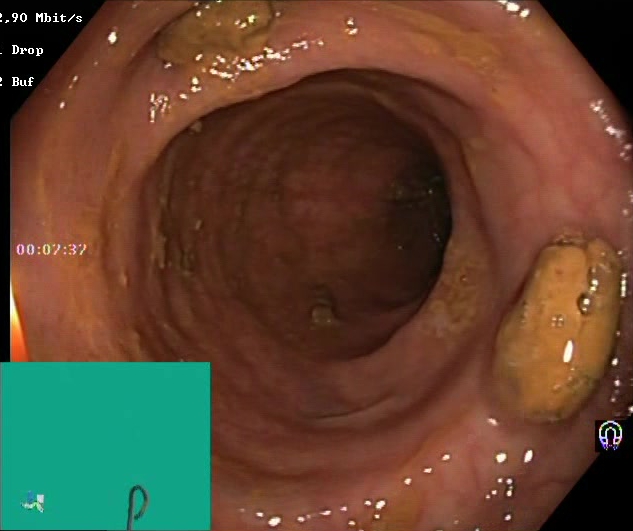Lower gastrointestinal endoscopy — impacted stool.